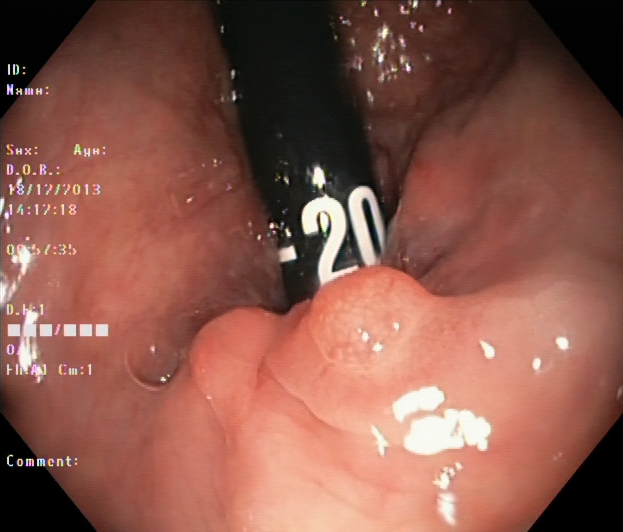Lower gastrointestinal endoscopy. Pathological finding. Finding: colorectal polyp(s).